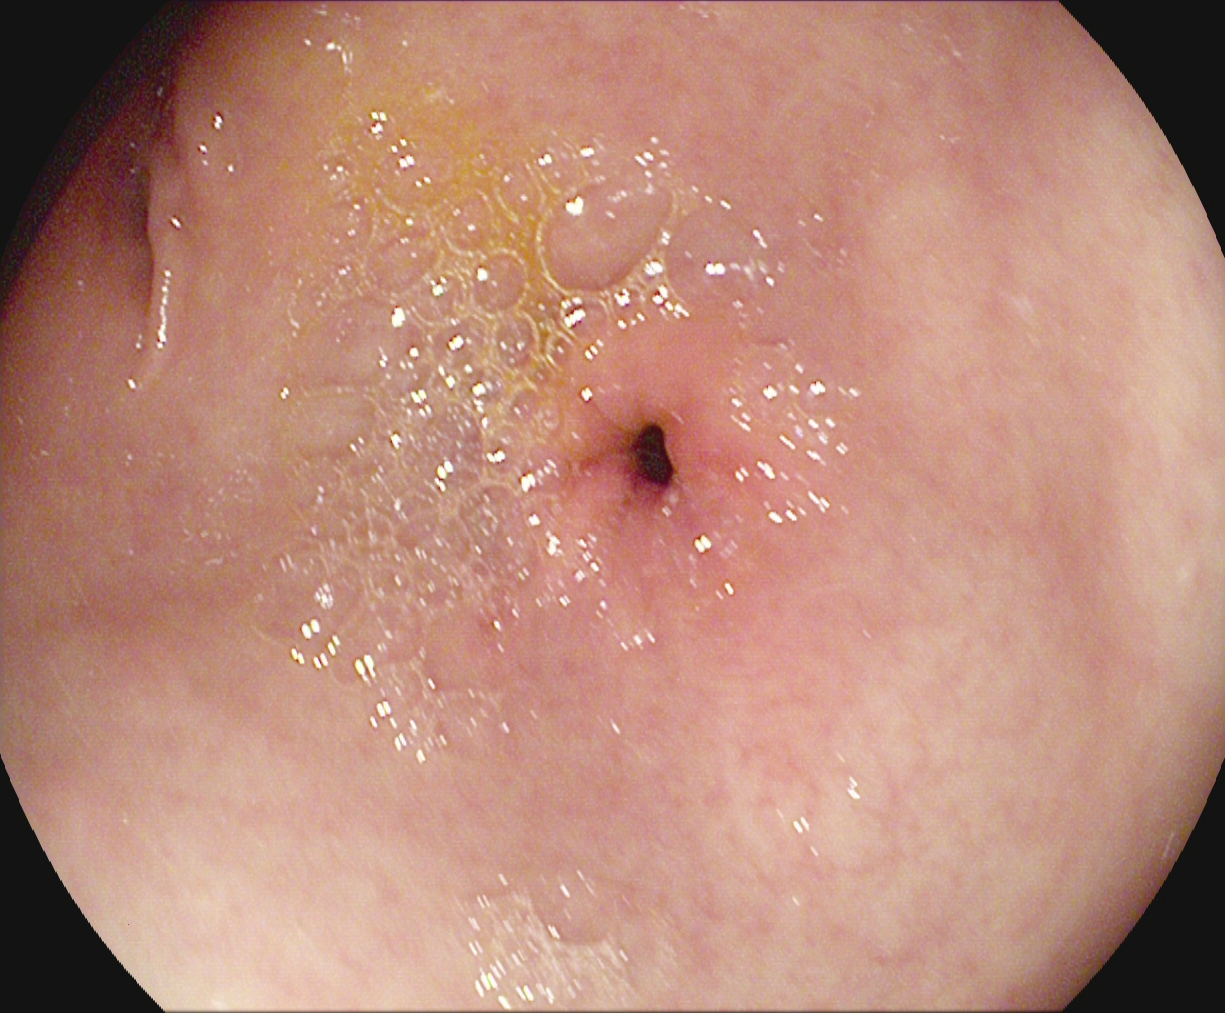EGD — pylorus.